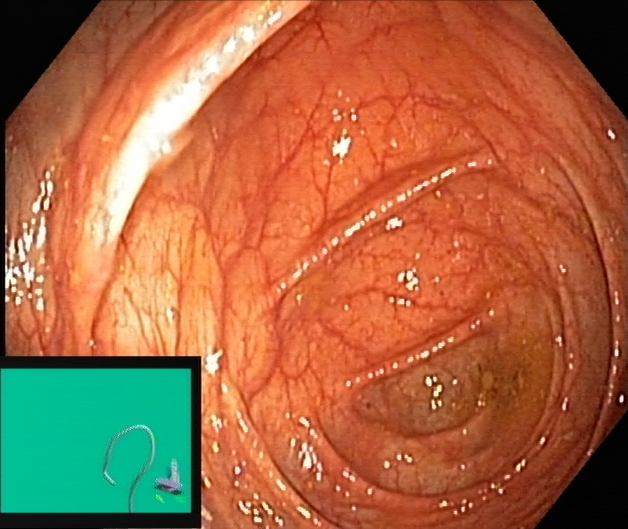{"modality": "colonoscopy", "tract": "lower GI tract", "finding": "cecum"}